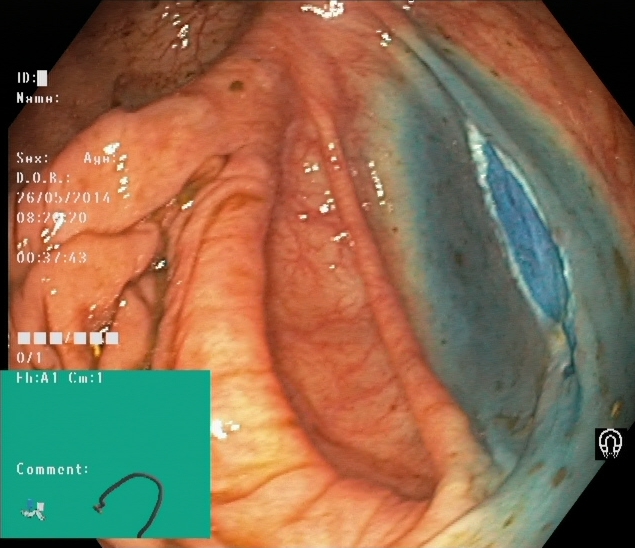PROCEDURE: Lower-GI endoscopy.
CATEGORY: Therapeutic intervention.
FINDINGS: Dyed resection margins (post-polypectomy).